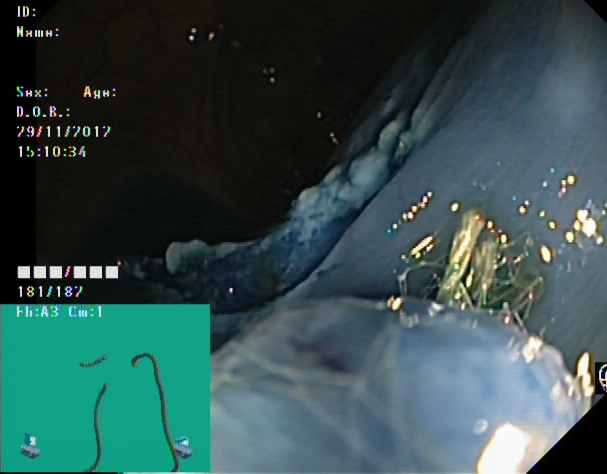PROCEDURE: Lower-GI endoscopy.
FINDINGS: Dyed resection margins (post-polypectomy).